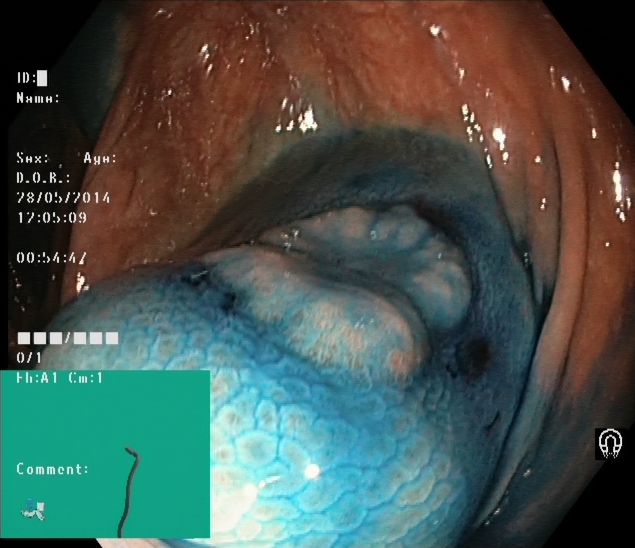PROCEDURE: Lower-GI endoscopy.
FINDINGS: Dyed and lifted polyp (pre-resection).